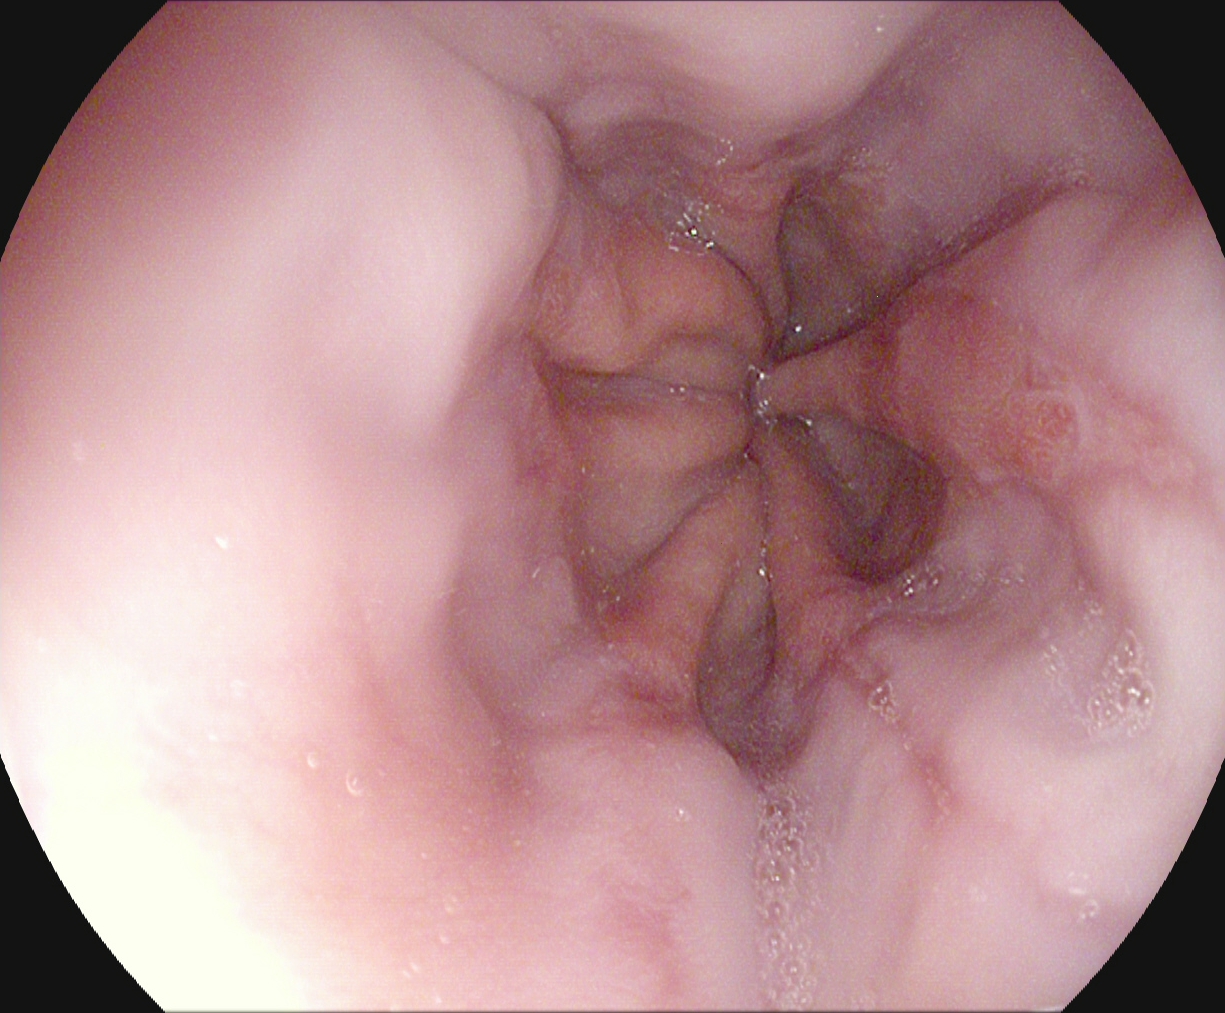PROCEDURE: Upper-GI endoscopy.
FINDINGS: Reflux esophagitis, Los Angeles grade A.